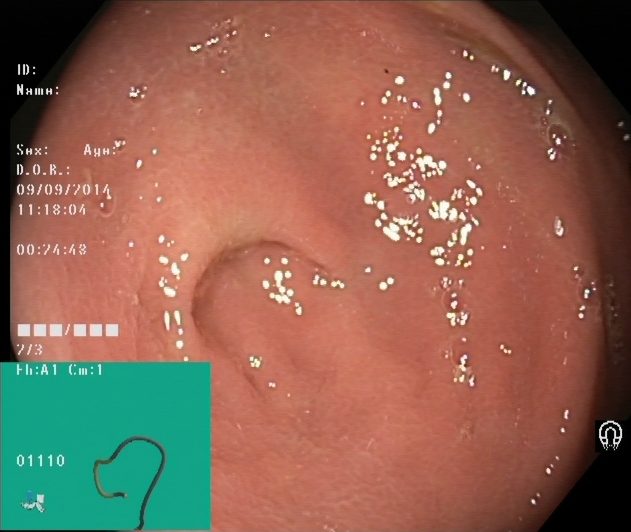Cecum.